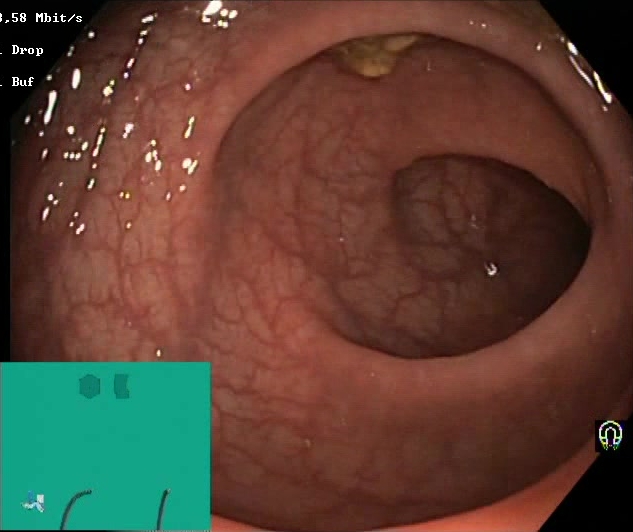Colonoscopy — Boston Bowel Preparation Scale score 2–3 (adequate preparation).